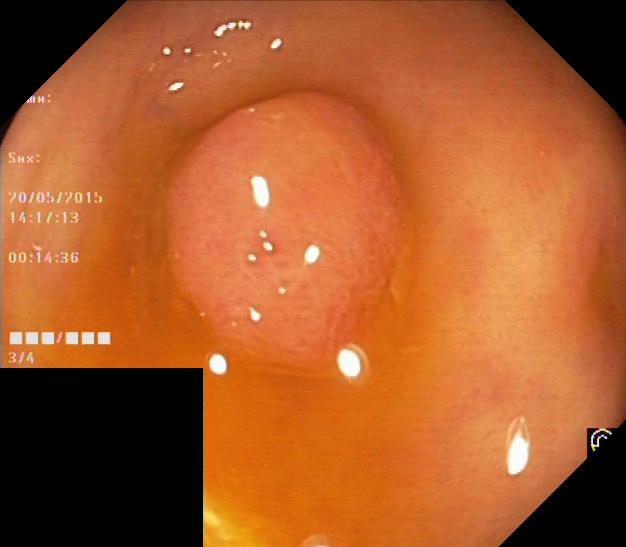This endoscopic image shows colorectal polyp(s).